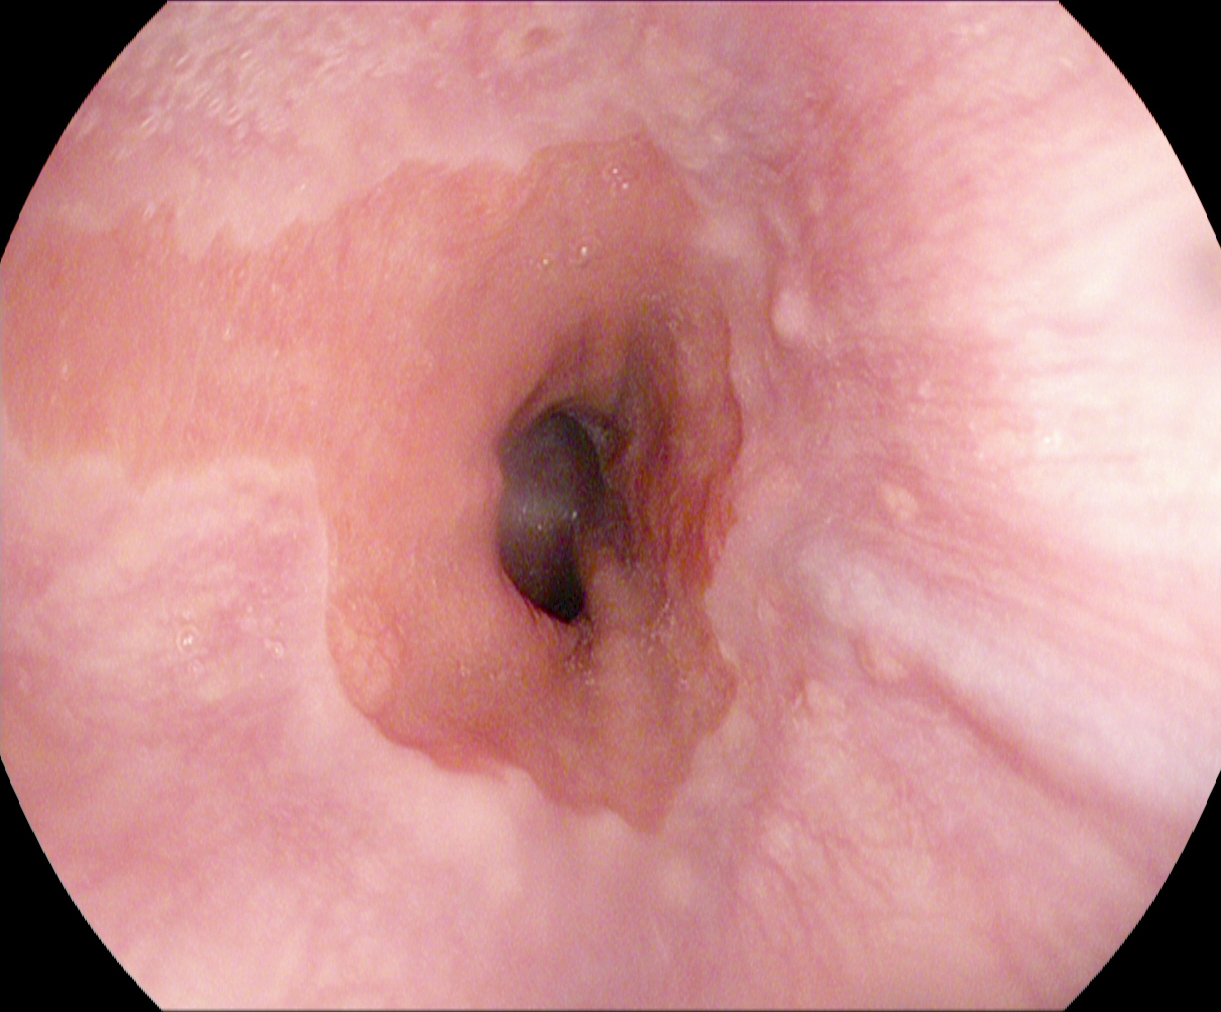Barrett's esophagus.